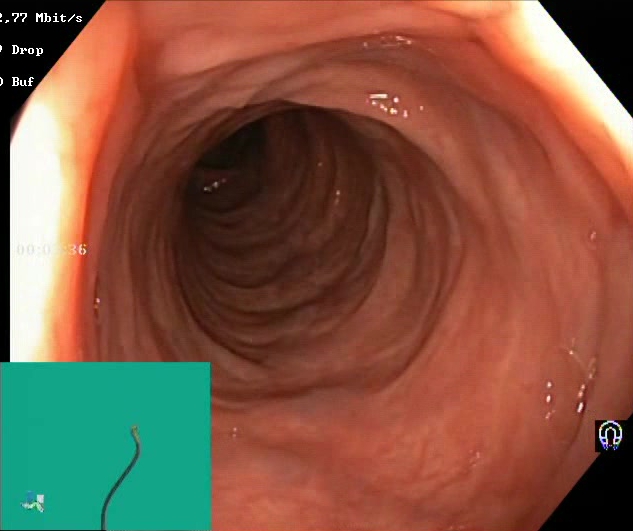PROCEDURE: Lower-GI endoscopy.
FINDINGS: Boston Bowel Preparation Scale score 2–3 (adequate preparation).